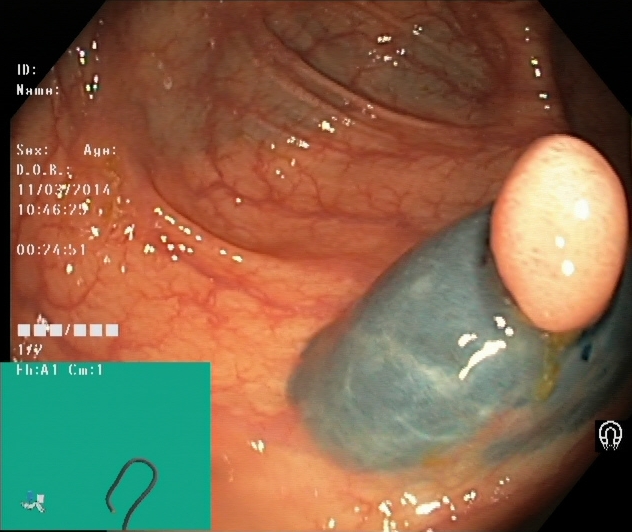{"modality": "colonoscopy", "tract": "lower GI tract", "finding": "dyed and lifted polyp (pre-resection)"}